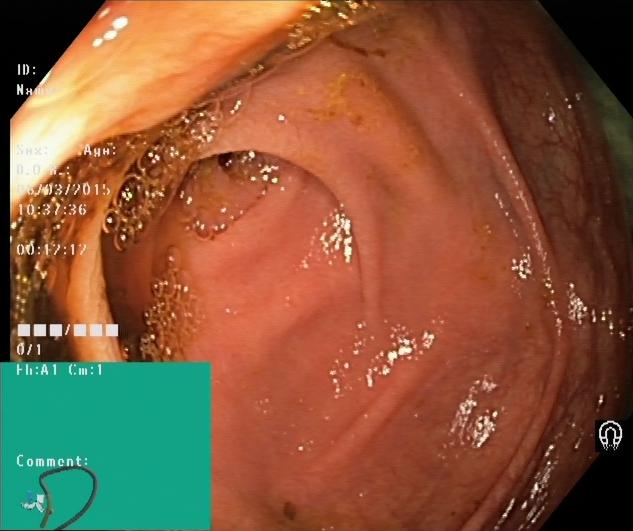Endoscopic image of the lower GI tract showing cecum.